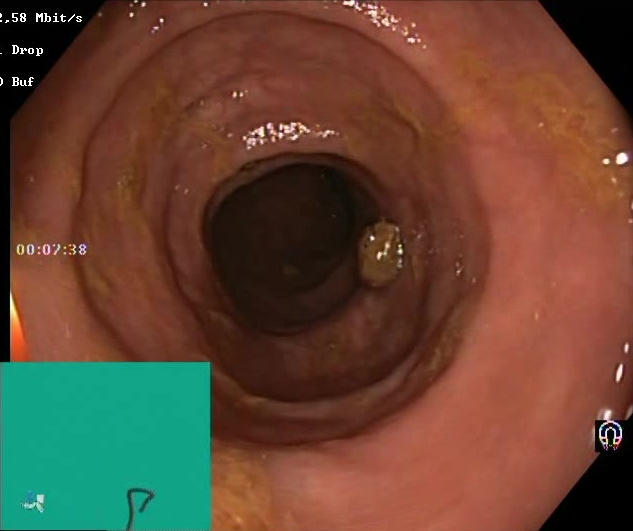Colonoscopy — BBPS score 2–3 (adequate preparation).